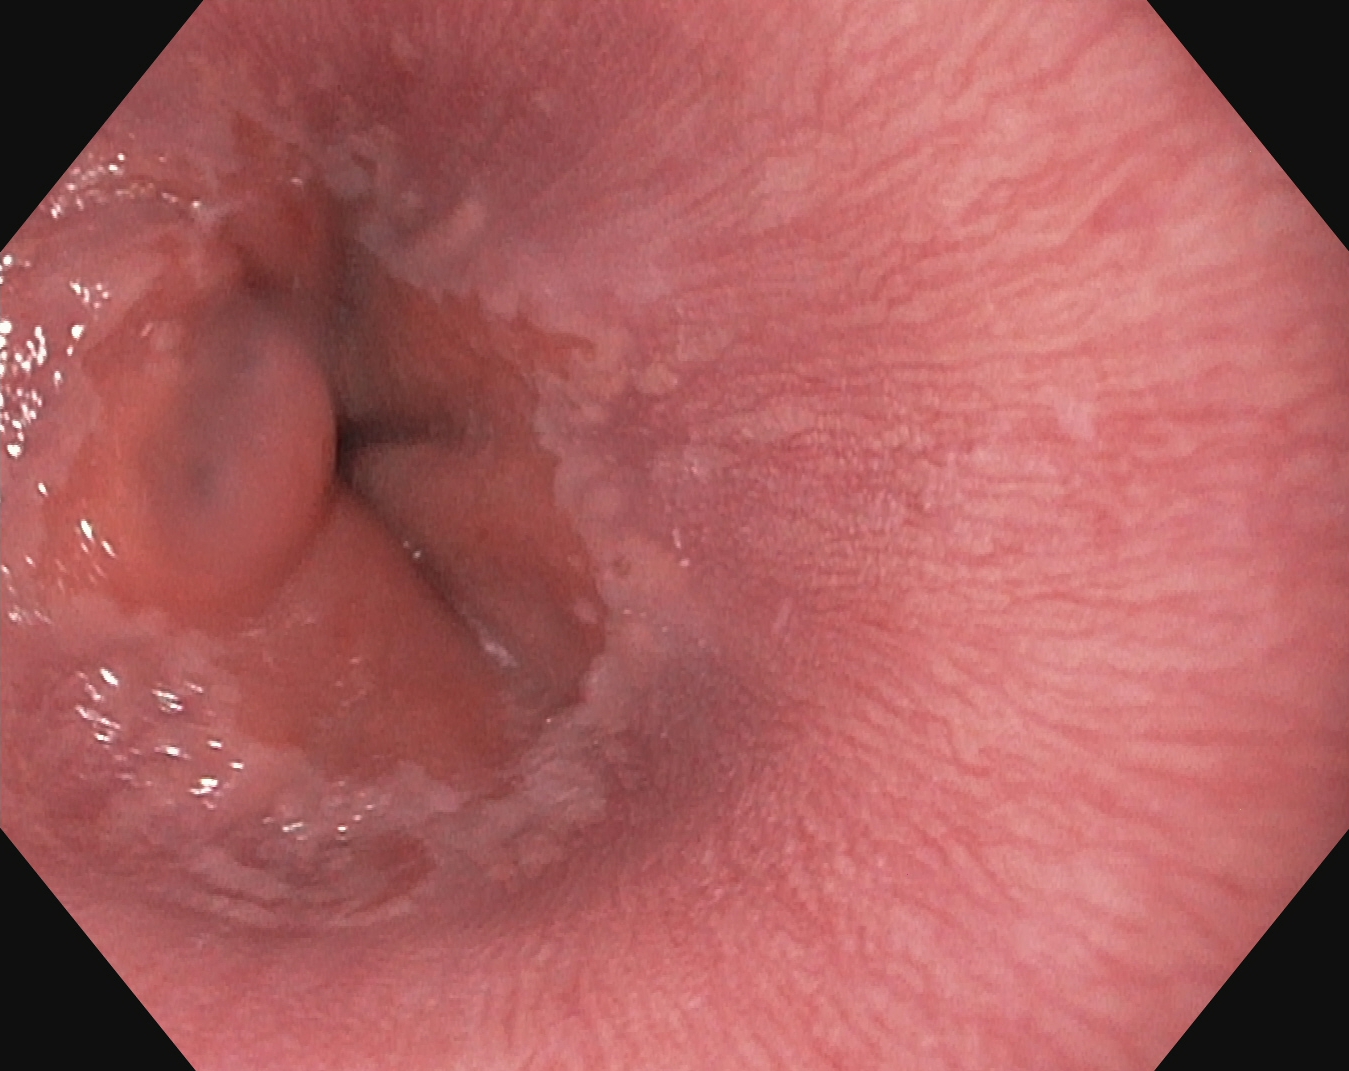This endoscopic image shows Z-line (gastroesophageal junction).